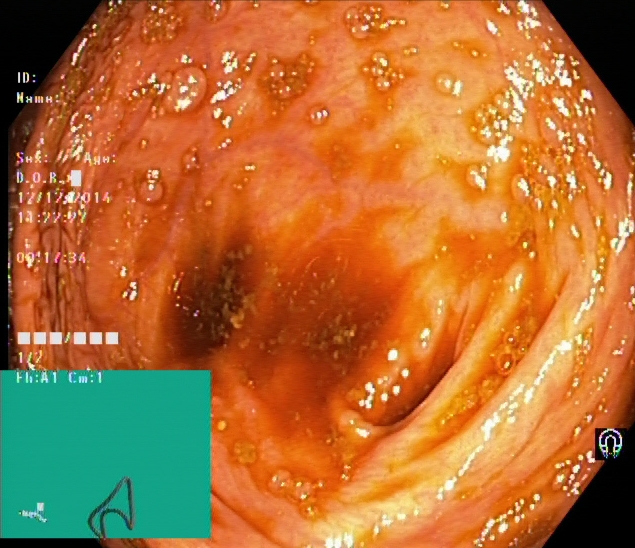Endoscopic image of the lower GI tract showing cecum.